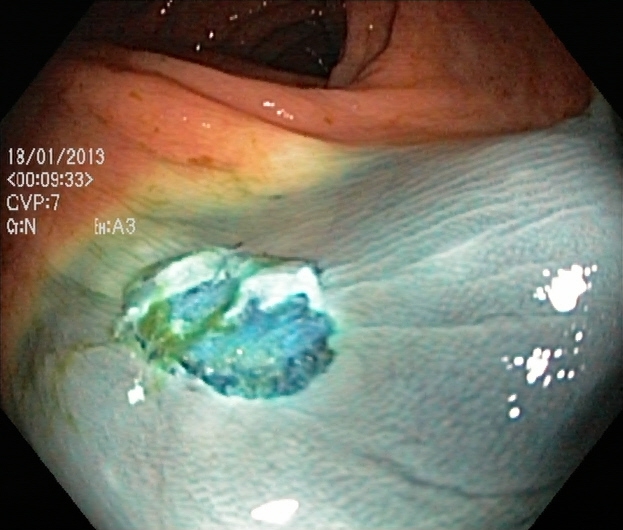This endoscopic image of the lower GI tract shows dyed resection margins (post-polypectomy).